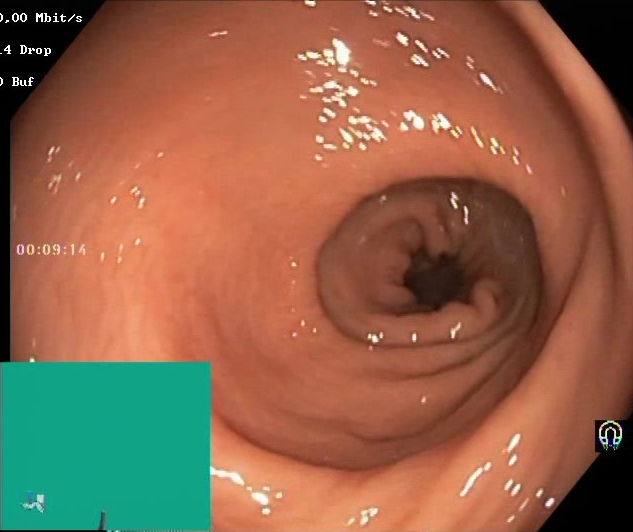Boston Bowel Preparation Scale score 2–3 (adequate preparation).